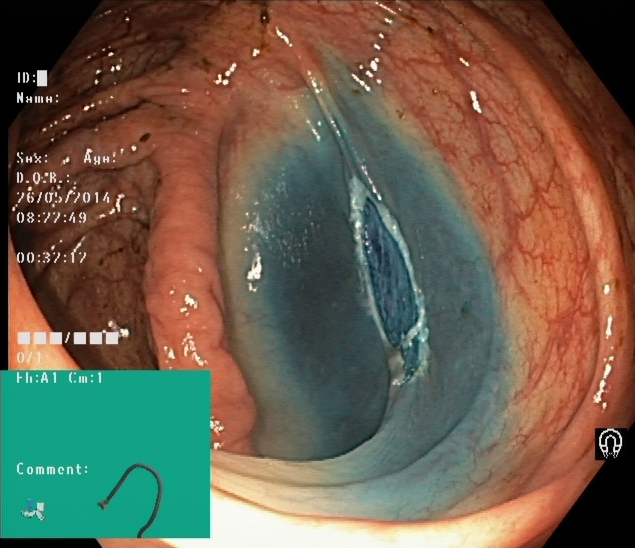Dyed resection margins (post-polypectomy).